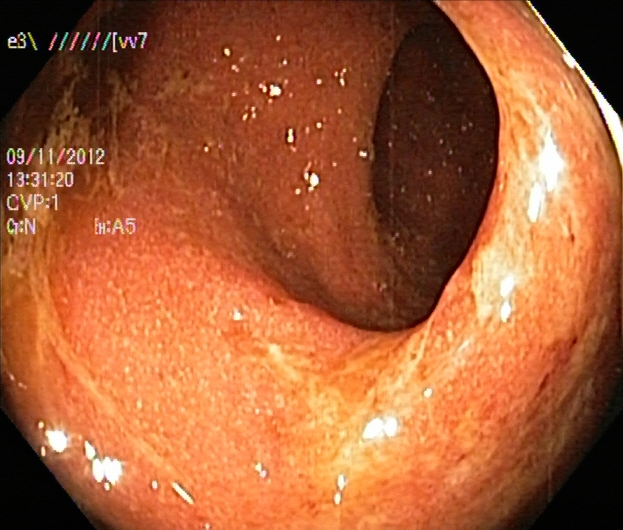modality: colonoscopy
category: pathological finding
finding: ulcerative colitis, Mayo endoscopic subscore 2